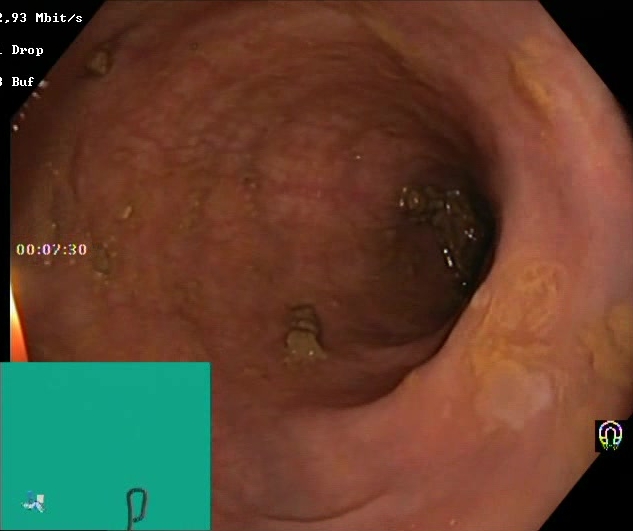Lower-GI endoscopy image showing Boston Bowel Preparation Scale score 2–3 (adequate preparation).